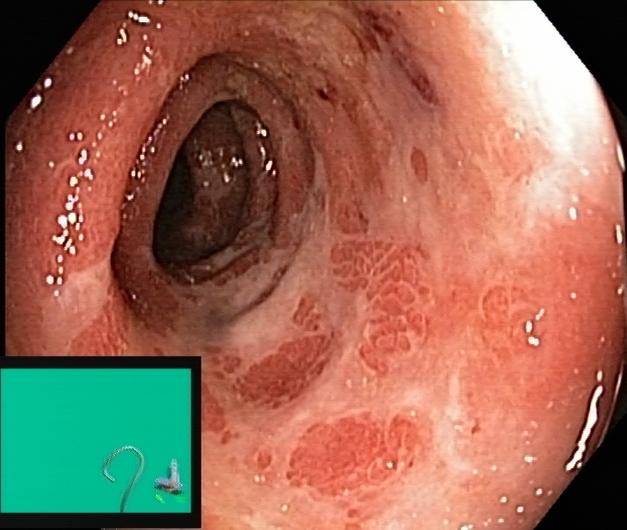This endoscopy frame of the lower GI tract shows UC, Mayo endoscopic subscore 2.